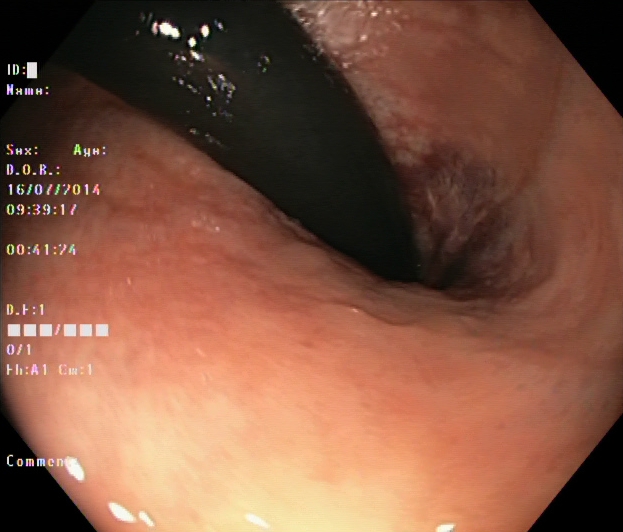modality: lower-GI endoscopy
finding: rectum in retroflexion